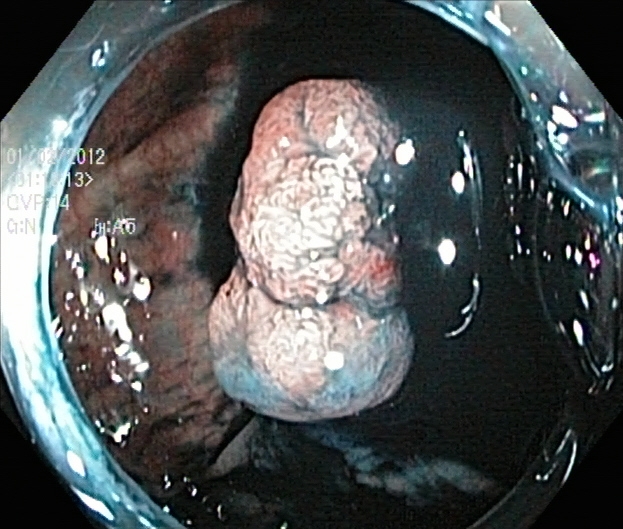PROCEDURE: Lower-GI endoscopy.
CATEGORY: Therapeutic intervention.
FINDINGS: Dyed and lifted polyp (pre-resection).